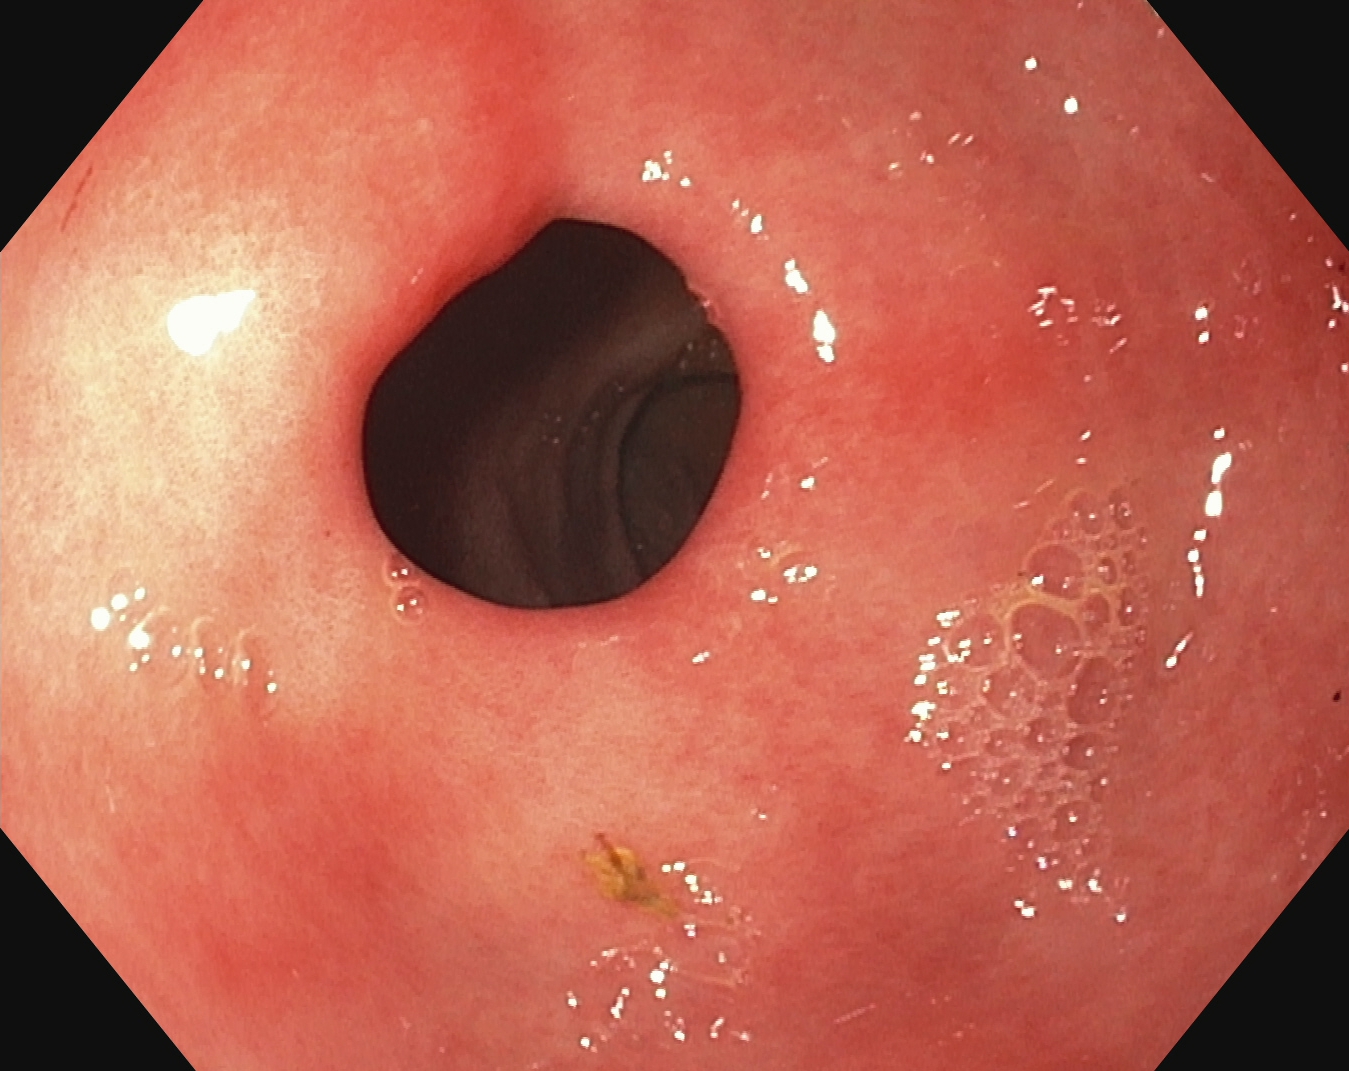EGD. Anatomical landmark. Finding: pylorus.